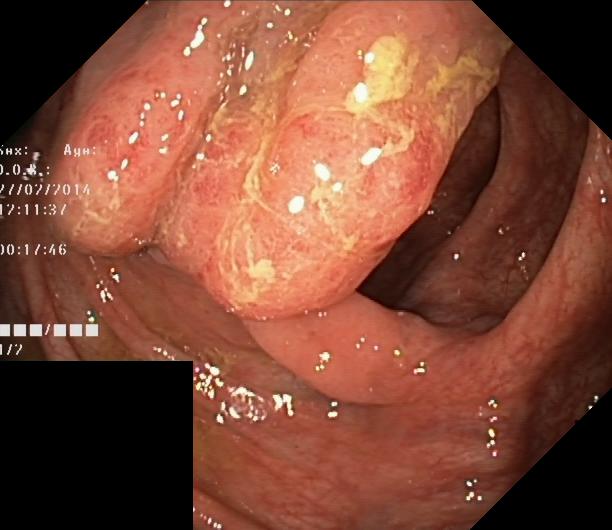{"modality": "lower gastrointestinal endoscopy", "finding": "colorectal polyp(s)"}